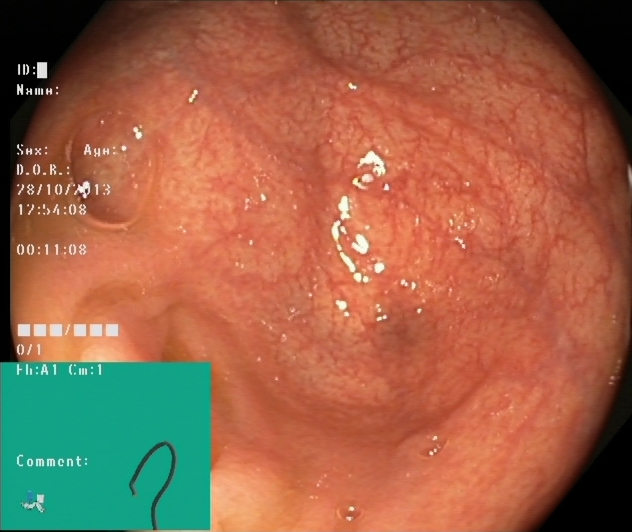Cecum.